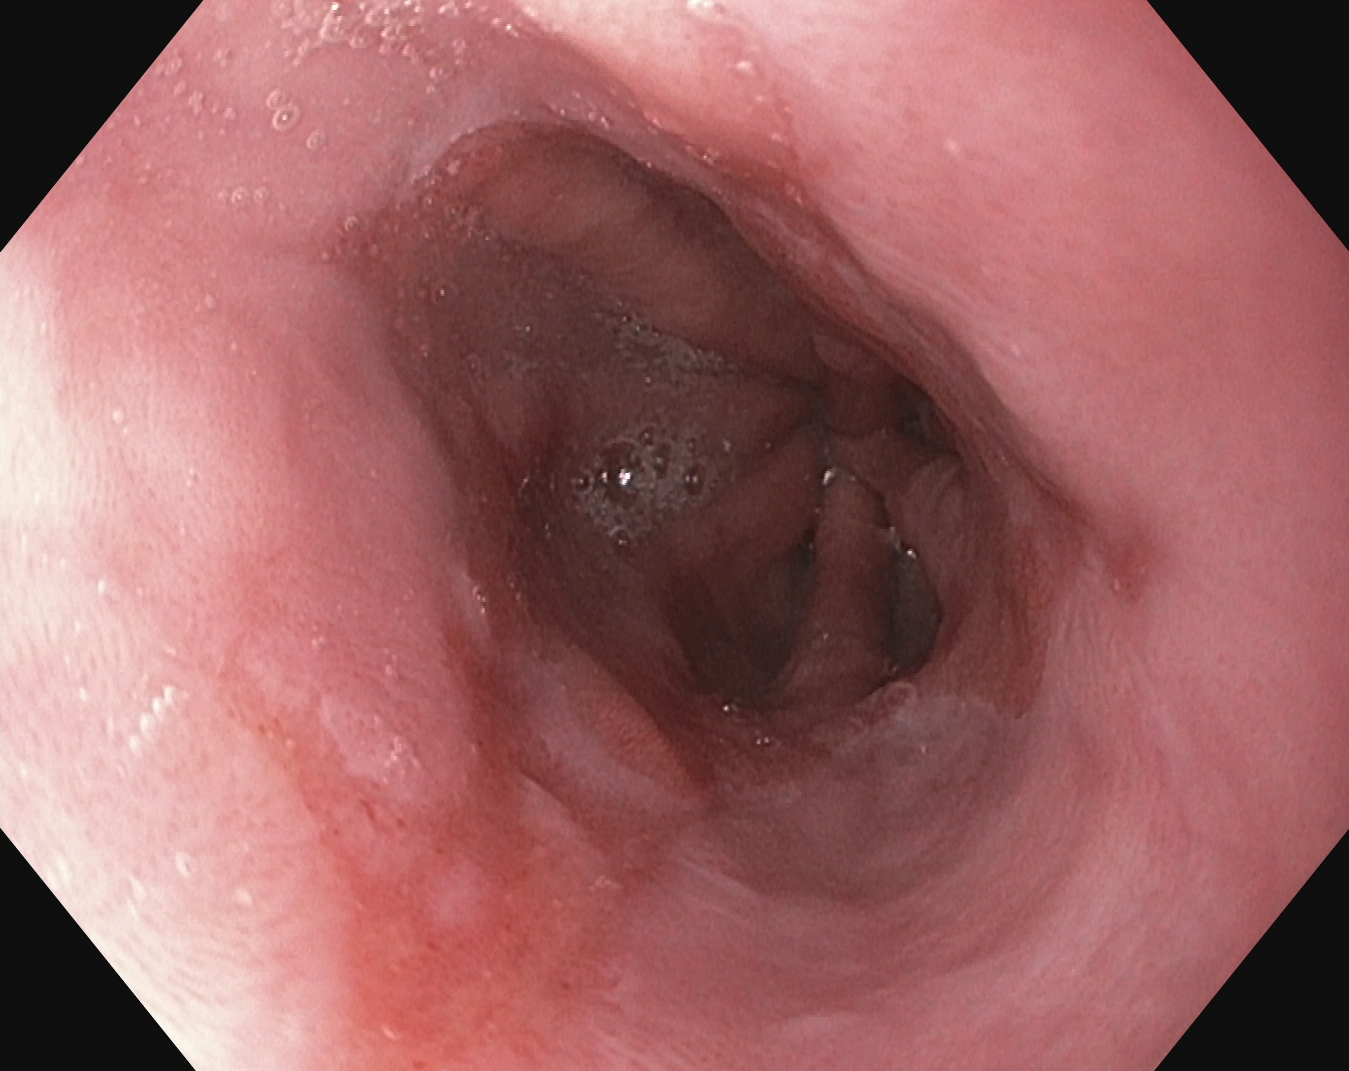modality: esophagogastroduodenoscopy; tract: upper GI tract; finding: reflux esophagitis, Los Angeles grade A